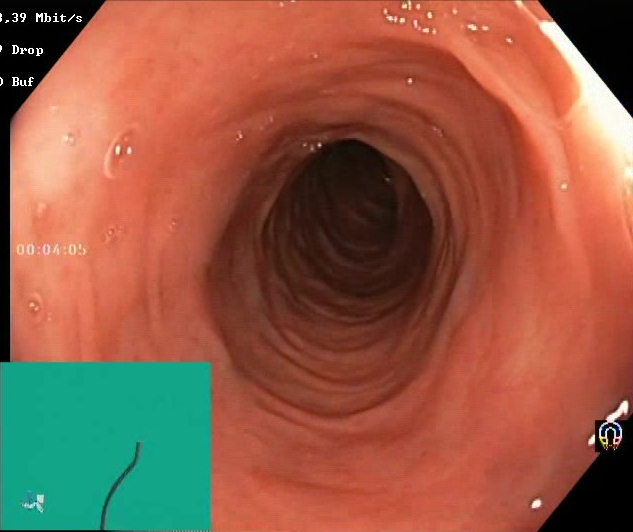{"modality": "lower-GI endoscopy", "finding": "Boston Bowel Preparation Scale score 2\u20133 (adequate preparation)"}